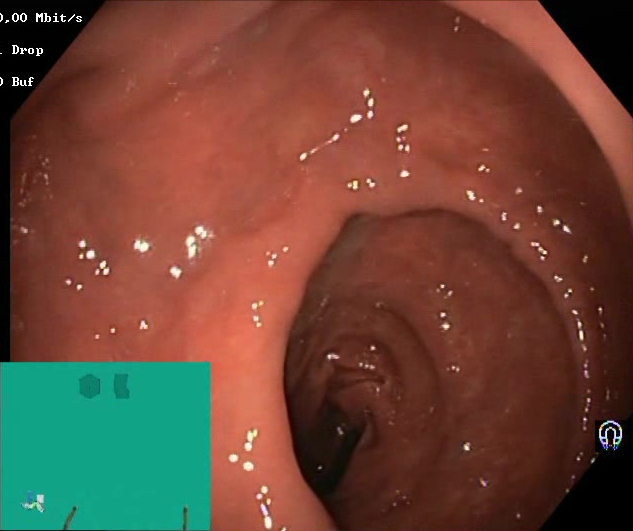{"modality": "lower-GI endoscopy", "tract": "lower GI tract", "finding": "Boston Bowel Preparation Scale score 2\u20133 (adequate preparation)"}